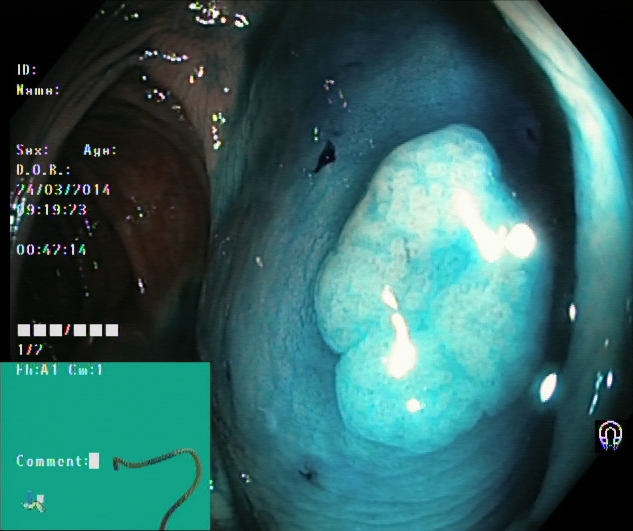Colonoscopy. Tract: lower GI tract. Therapeutic intervention. Finding: dyed and lifted polyp (pre-resection).